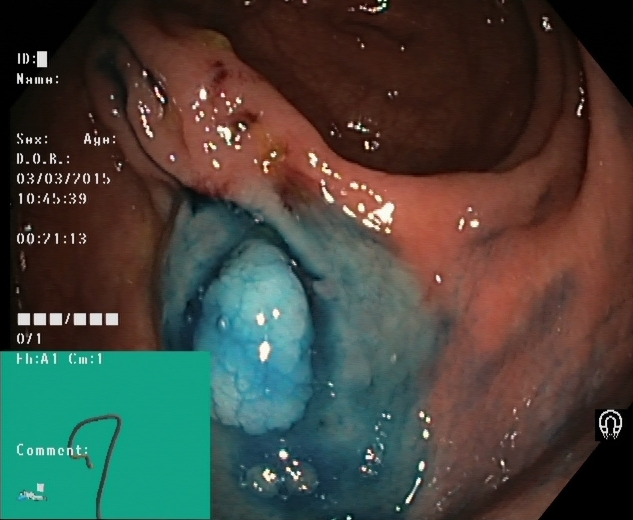Lower gastrointestinal endoscopy. Tract: lower GI tract. Therapeutic intervention. Finding: dyed and lifted polyp (pre-resection).